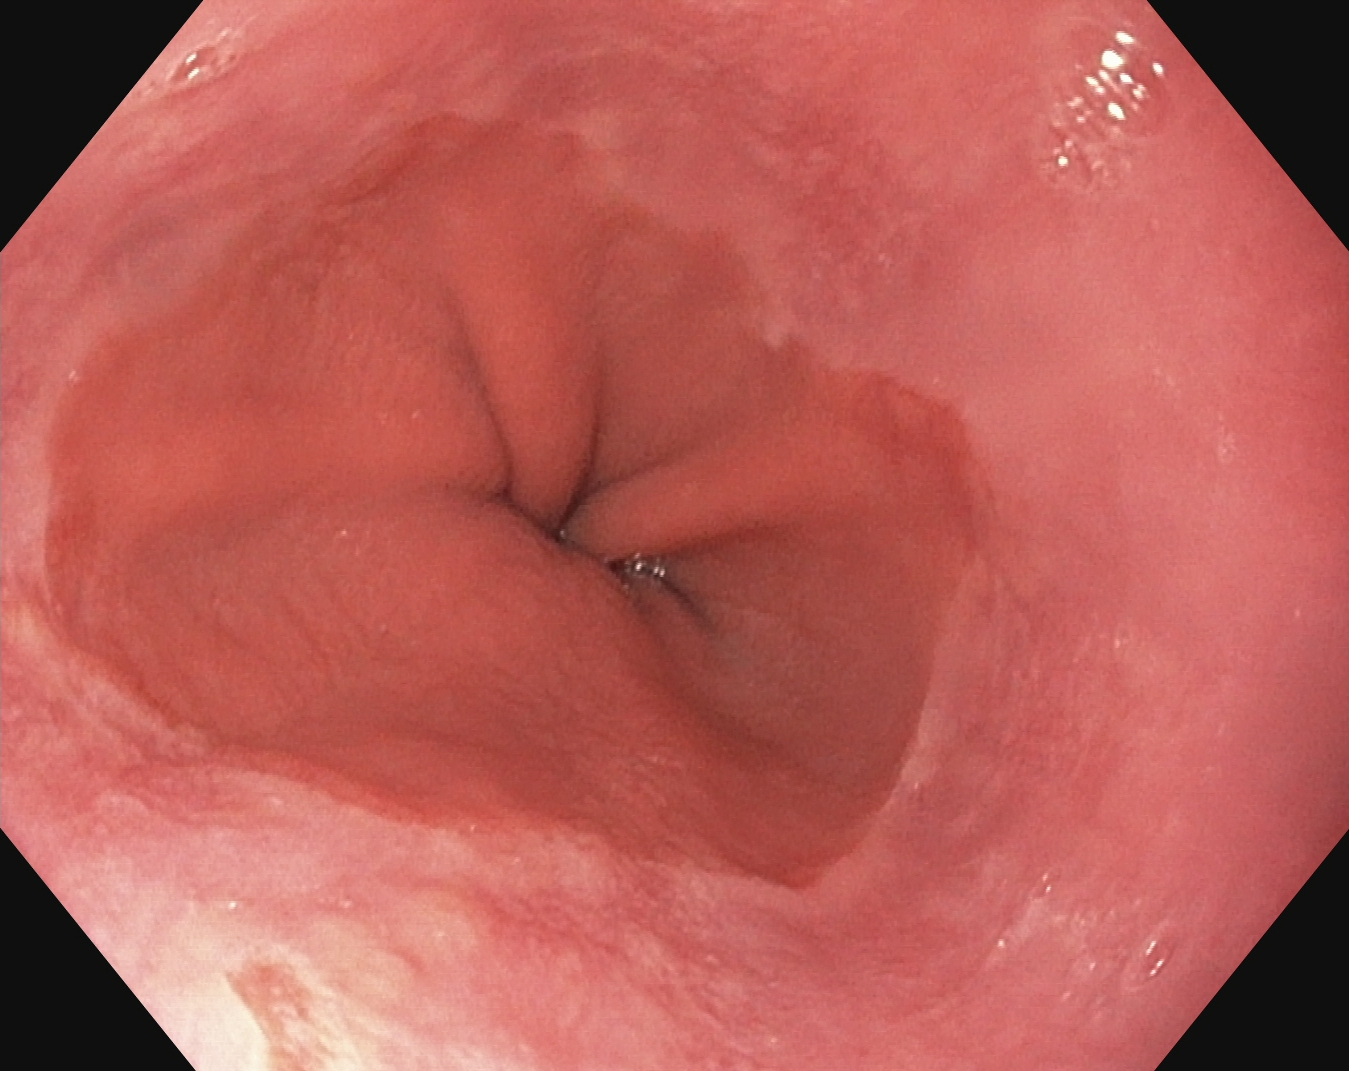GI endoscopy image of the upper GI tract showing Z-line (gastroesophageal junction).